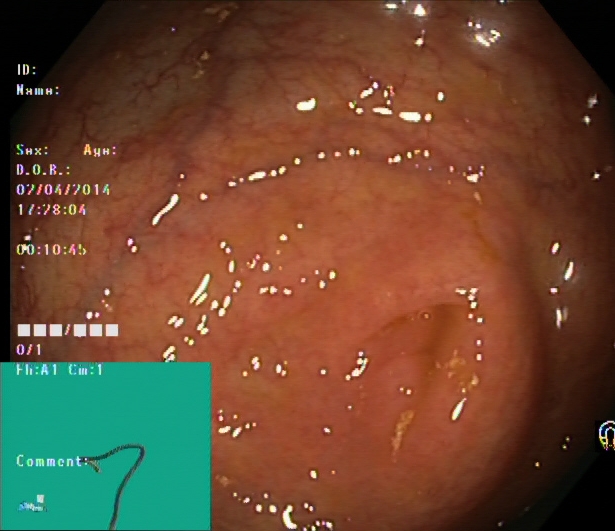PROCEDURE: Lower gastrointestinal endoscopy.
FINDINGS: Cecum.